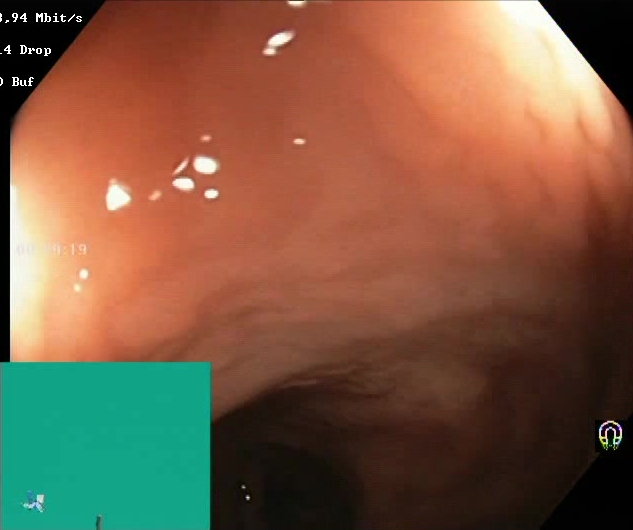modality: colonoscopy; finding: BBPS score 2–3 (adequate preparation)